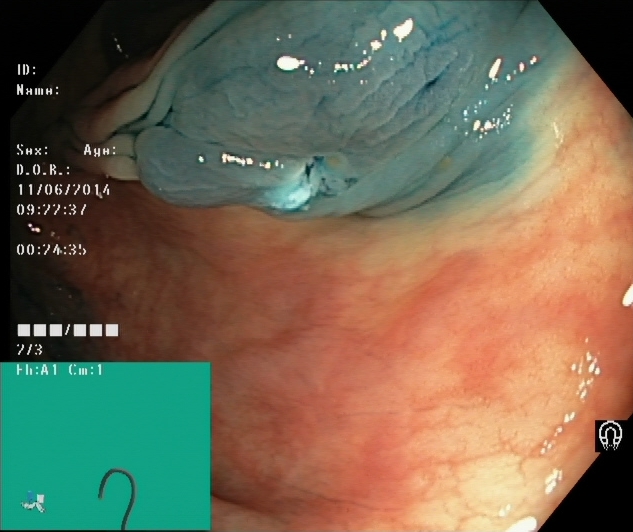PROCEDURE: Lower-GI endoscopy.
CATEGORY: Therapeutic intervention.
FINDINGS: Dyed resection margins (post-polypectomy).